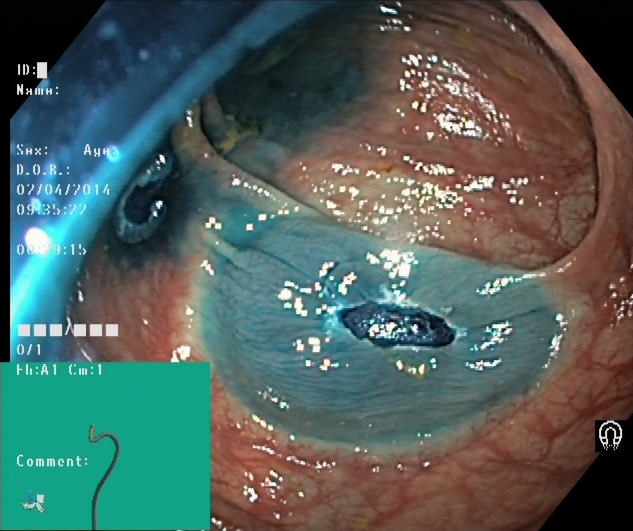PROCEDURE: Colonoscopy.
FINDINGS: Dyed resection margins (post-polypectomy).